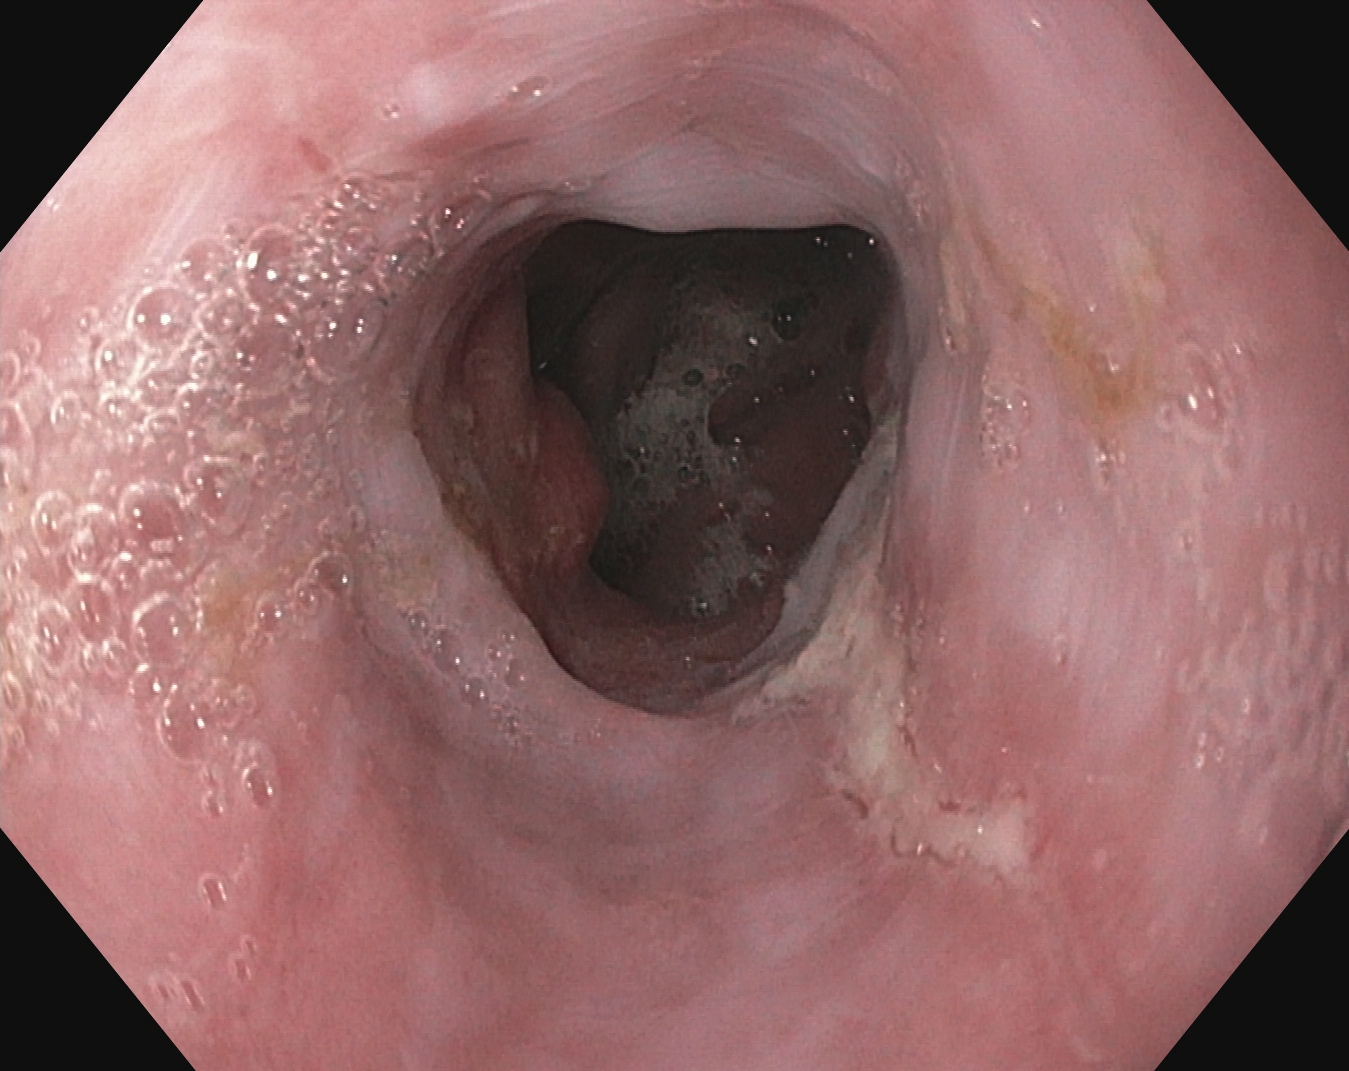EGD. Tract: upper GI tract. Finding: reflux esophagitis, Los Angeles grade B–D.